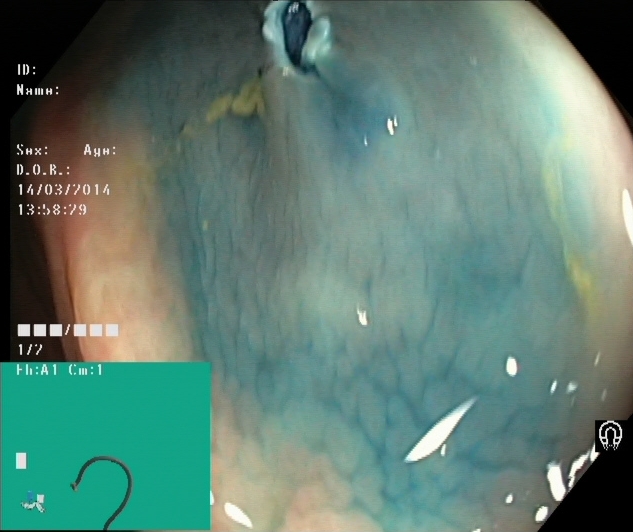This endoscopic image of the lower GI tract shows dyed resection margins (post-polypectomy).